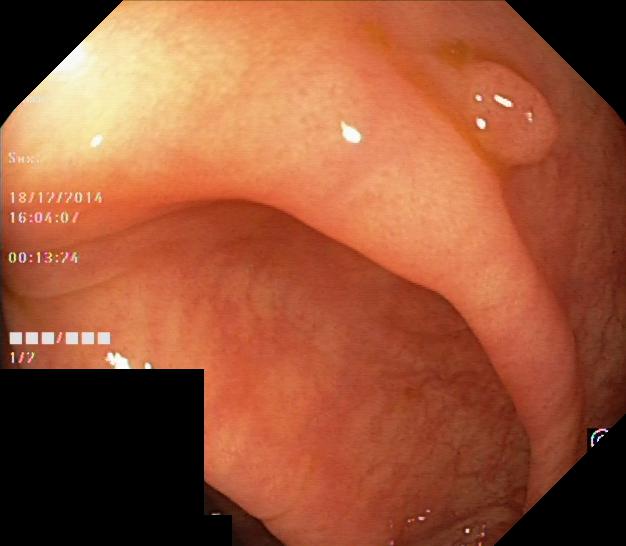modality: lower-GI endoscopy | finding: colorectal polyp(s)